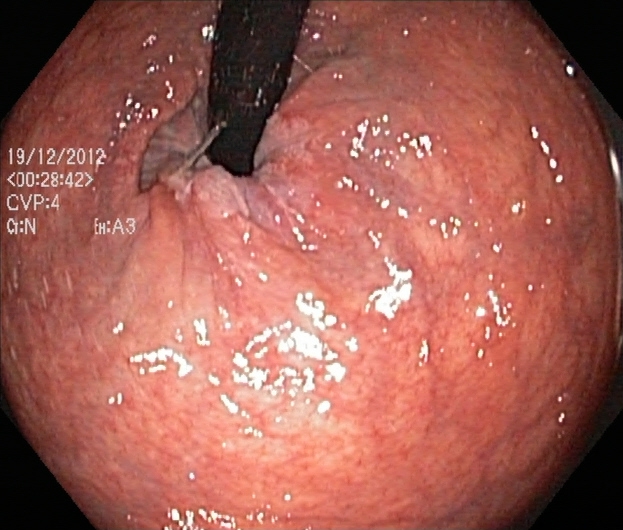modality: lower-GI endoscopy
finding: rectum in retroflexion